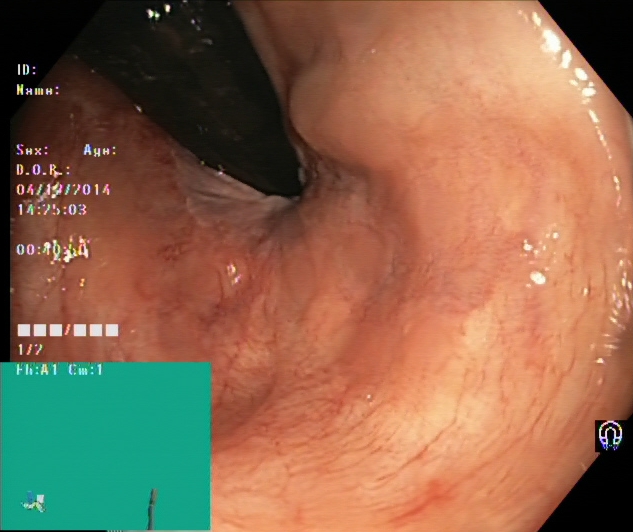Lower gastrointestinal endoscopy. Finding: rectum in retroflexion.